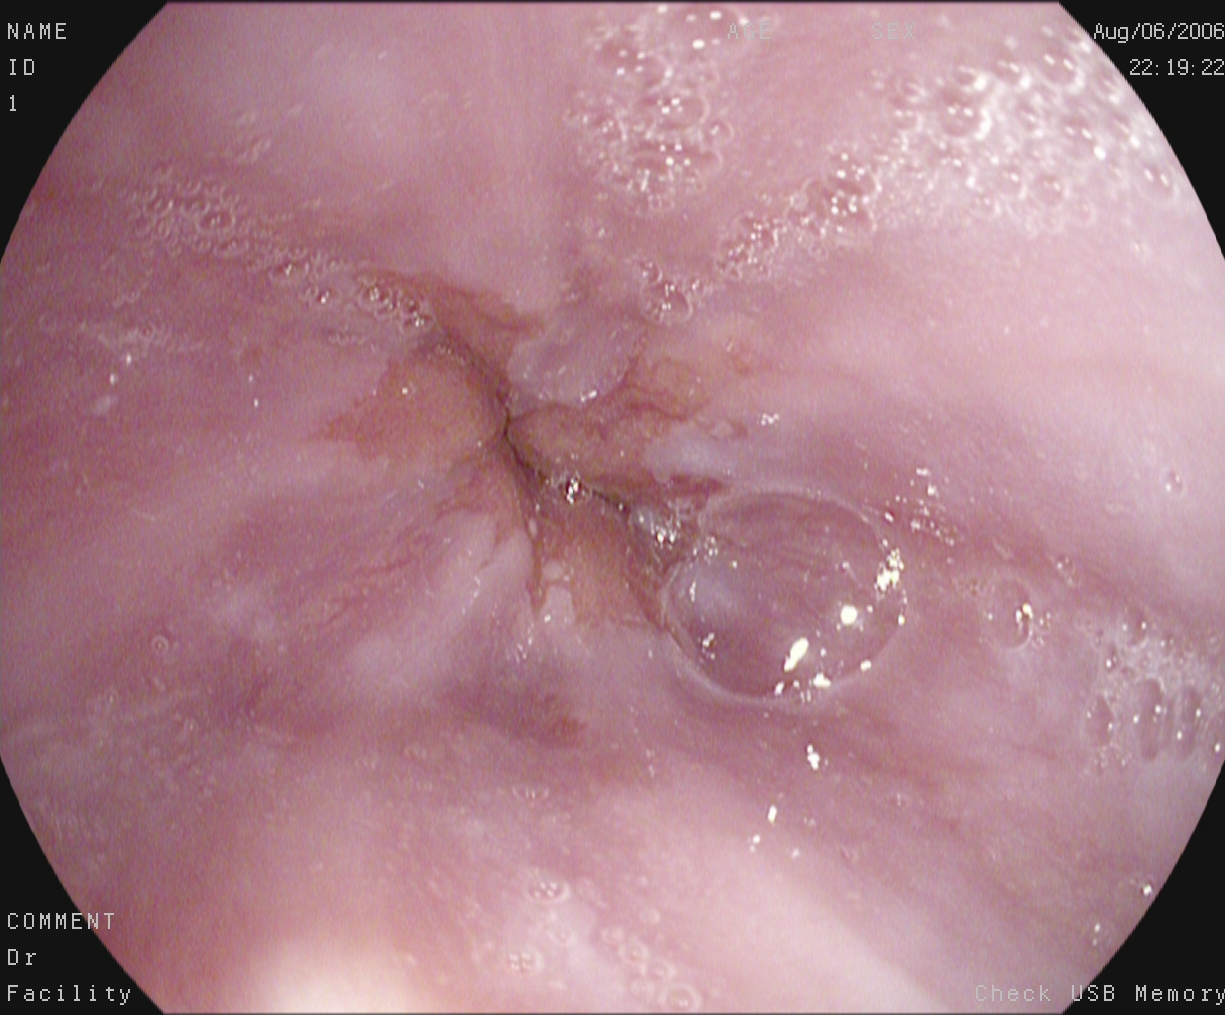This endoscopic image shows Z-line (gastroesophageal junction).